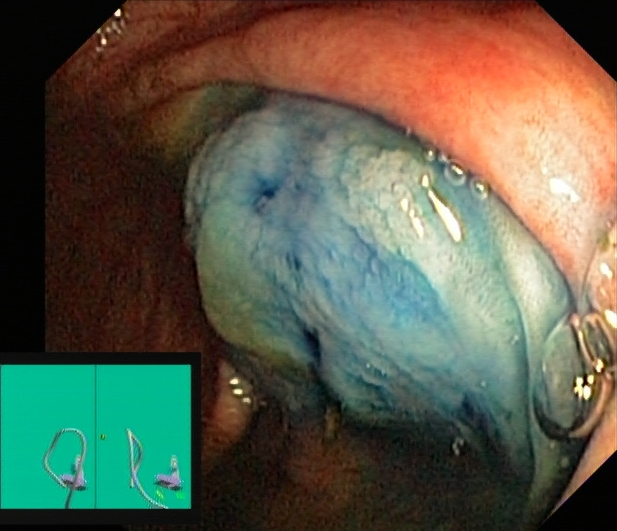Lower gastrointestinal endoscopy. Finding: dyed and lifted polyp (pre-resection).